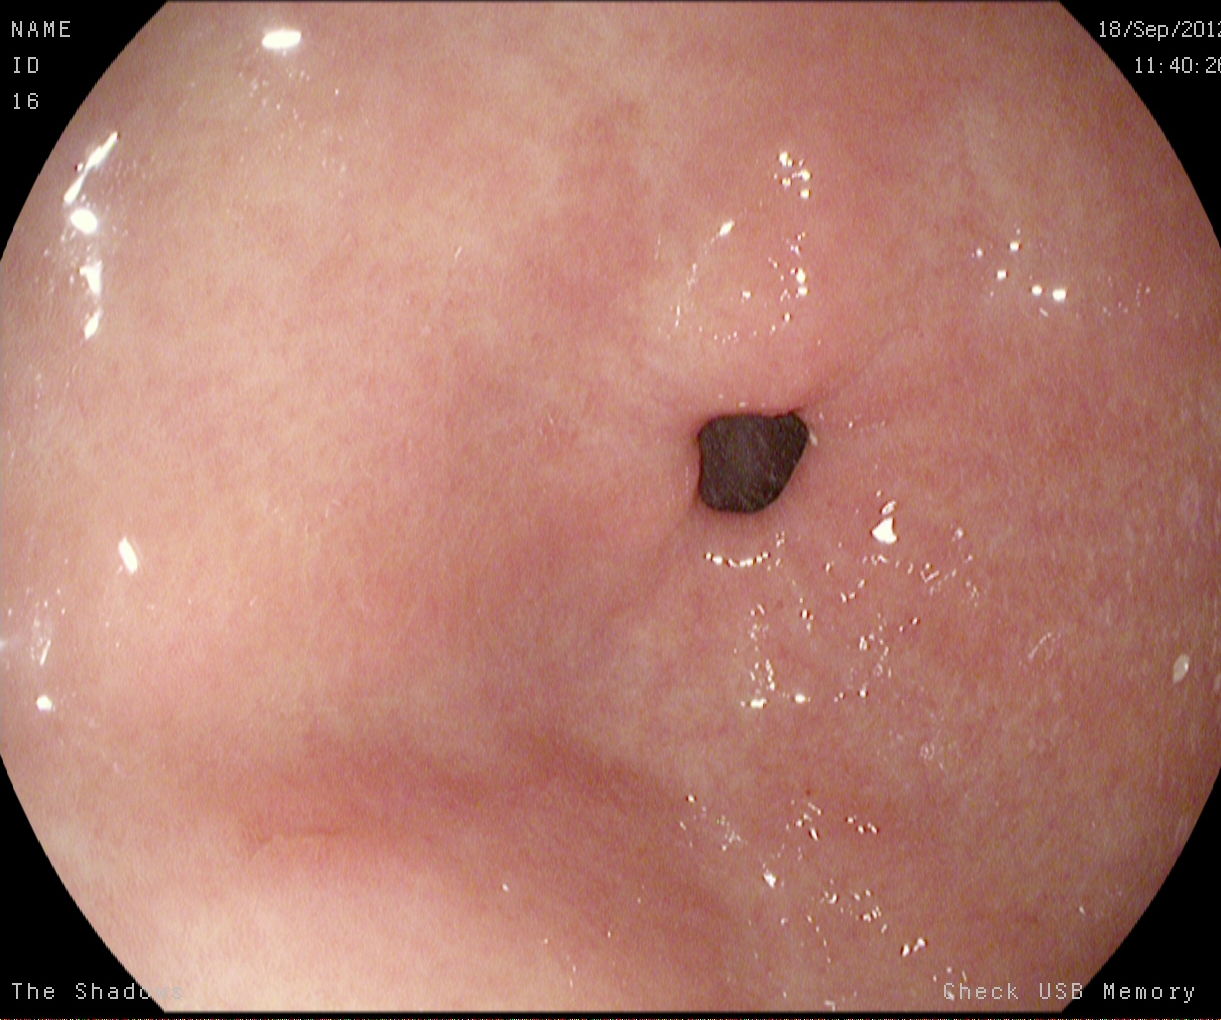Pylorus.